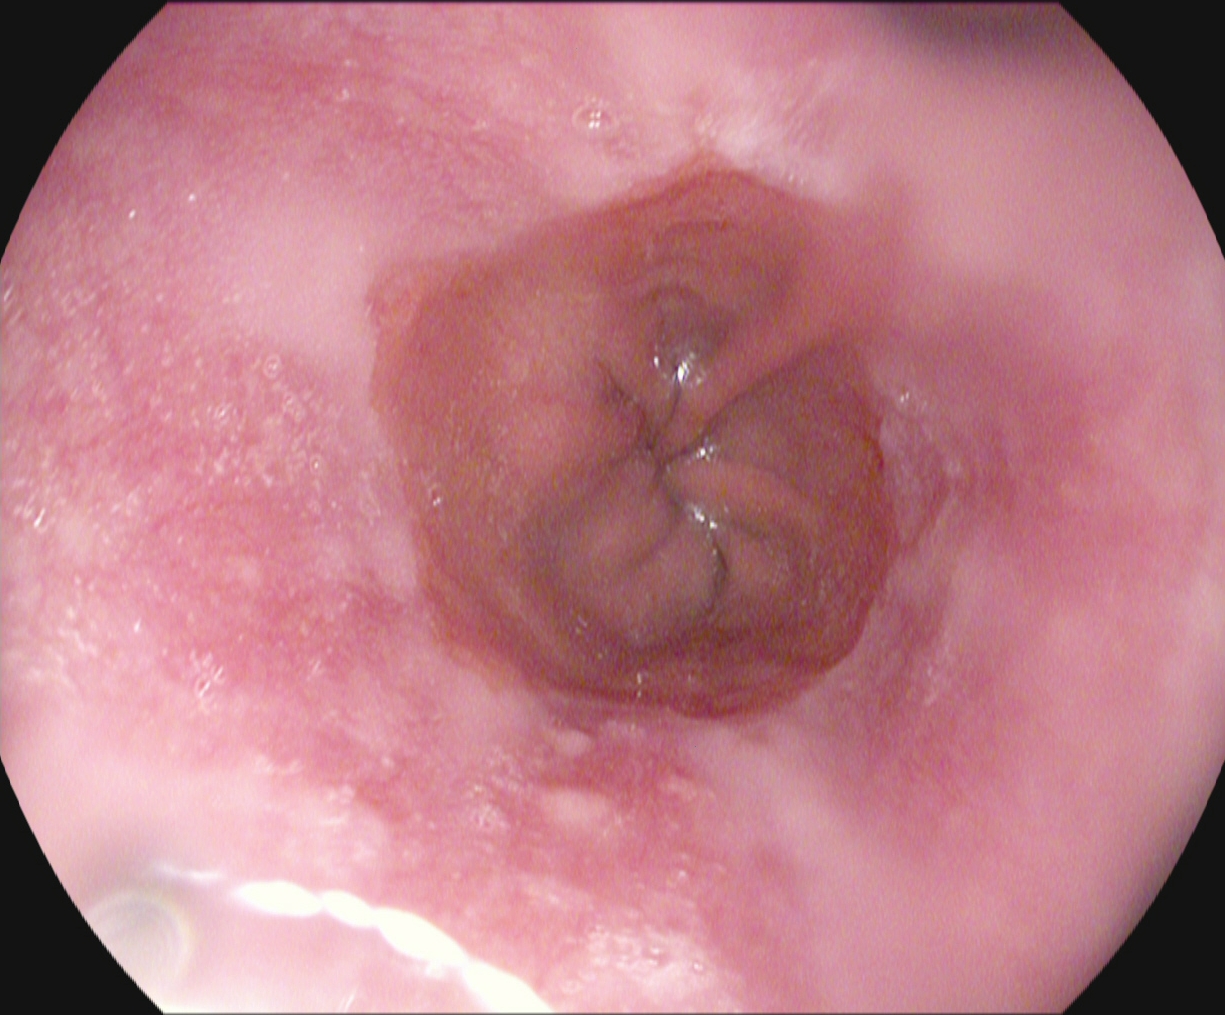Gastroscopy. Finding: reflux esophagitis, Los Angeles grade A.